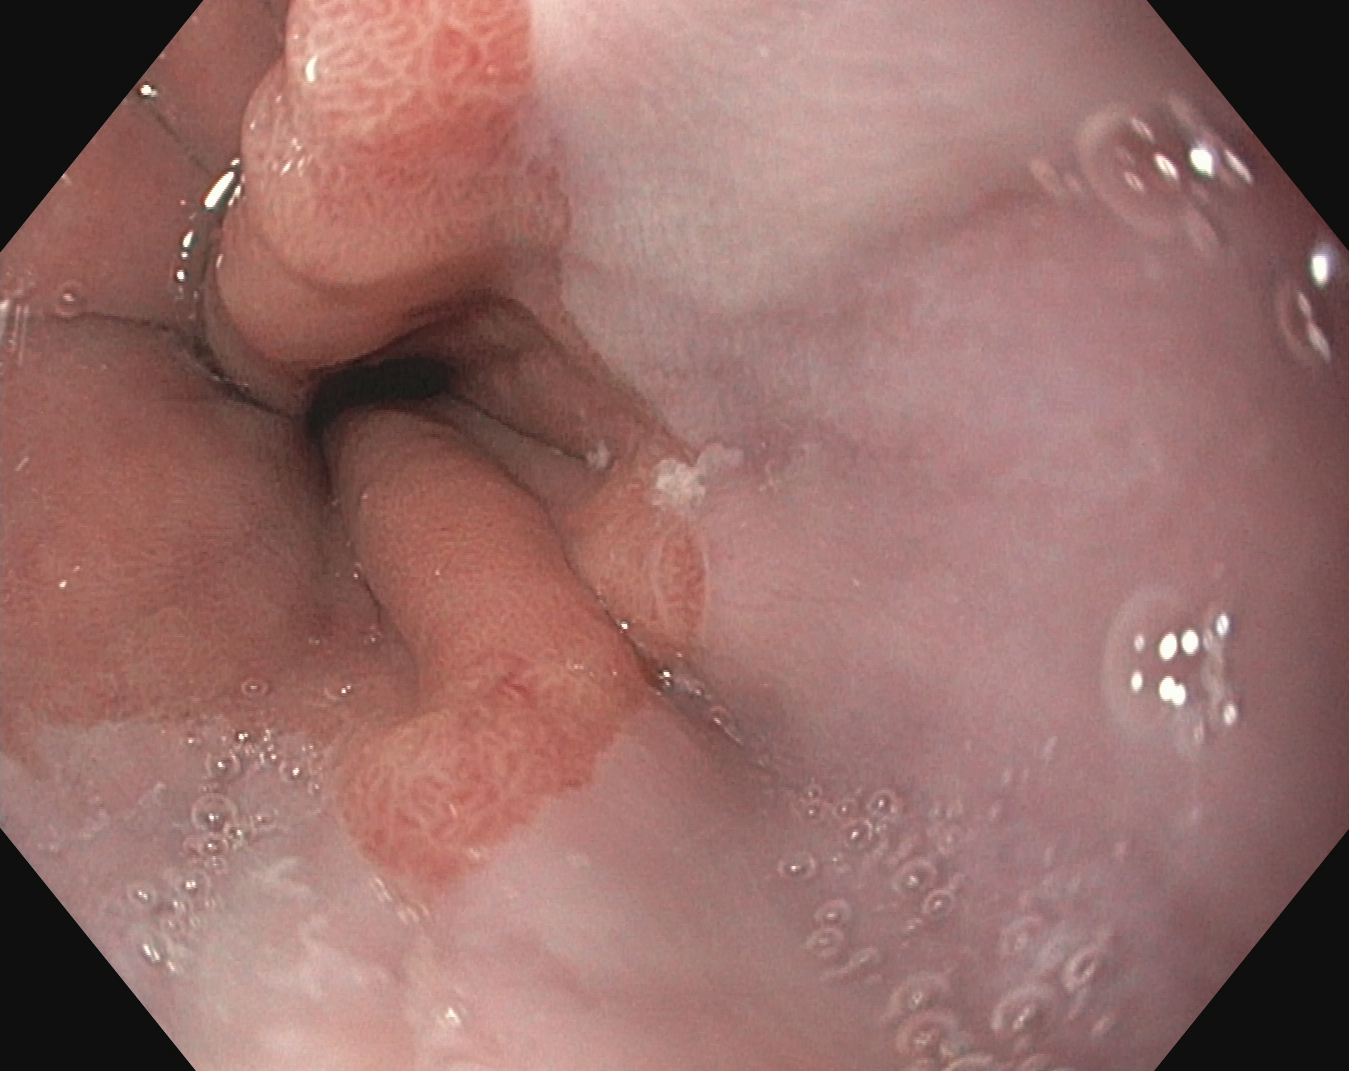Z-line (gastroesophageal junction).